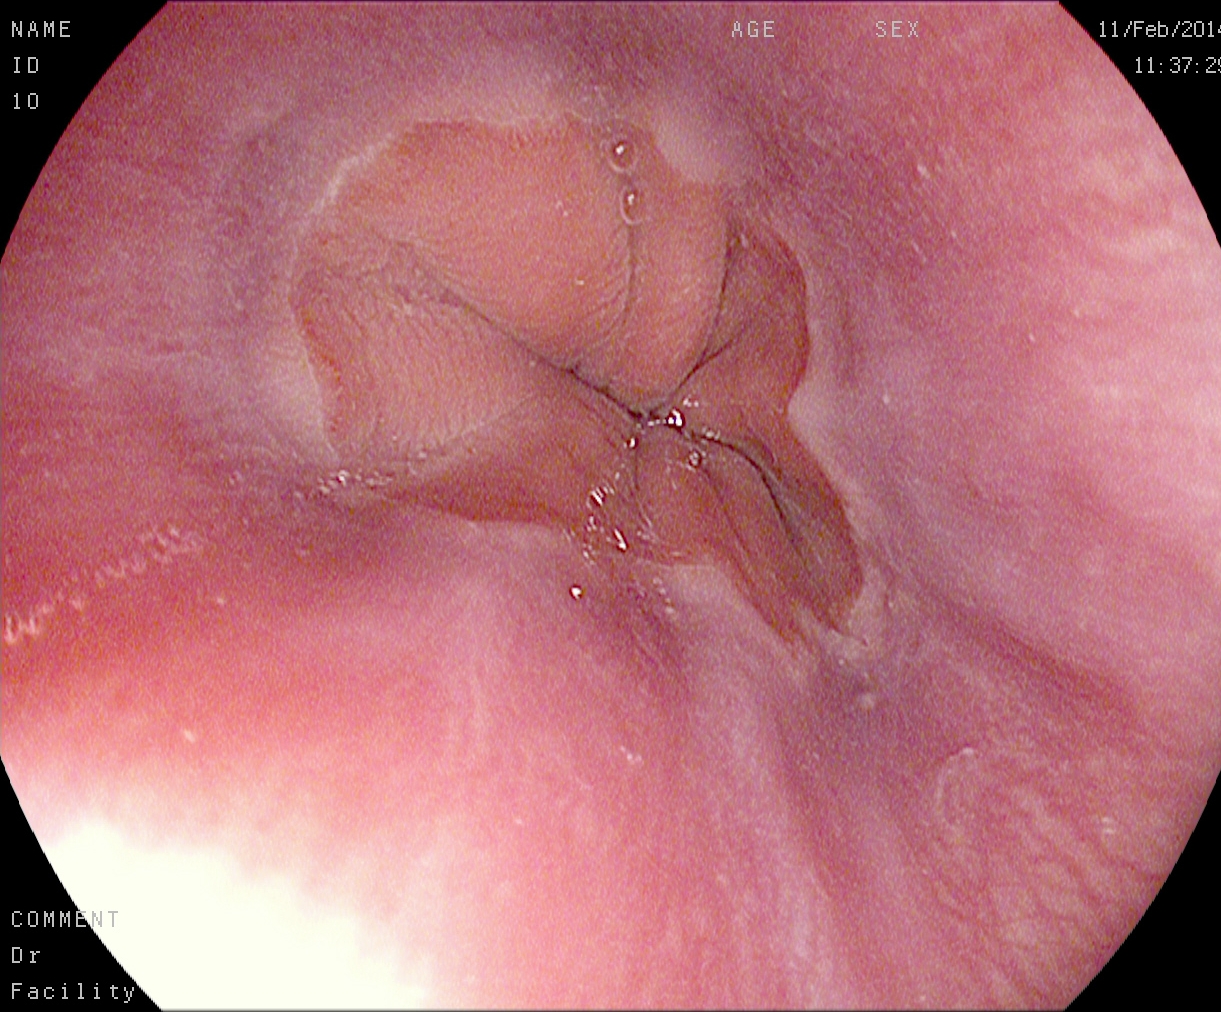This endoscopic image of the upper GI tract shows Z-line (gastroesophageal junction).